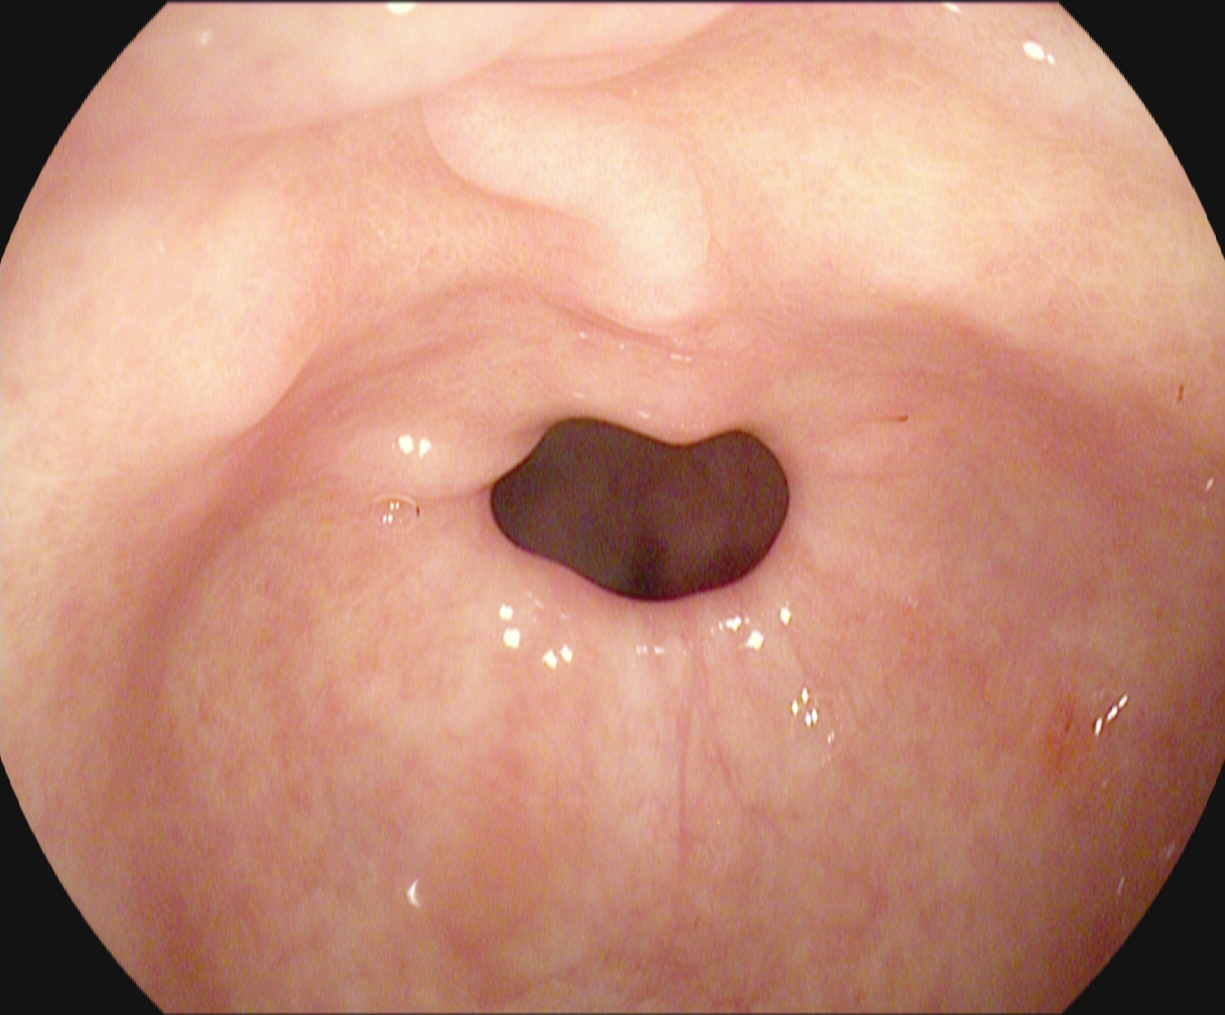Pylorus.